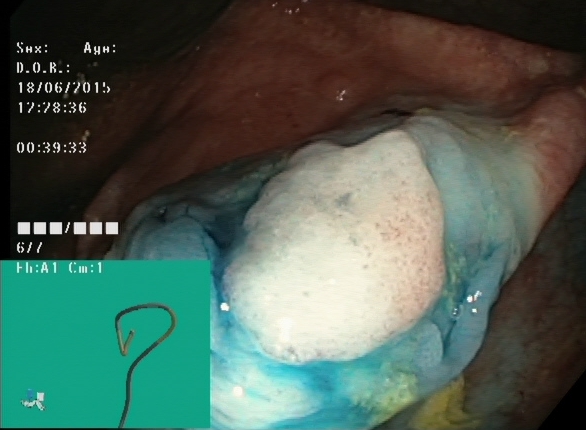{"modality": "lower-GI endoscopy", "tract": "lower GI tract", "finding": "dyed and lifted polyp (pre-resection)"}